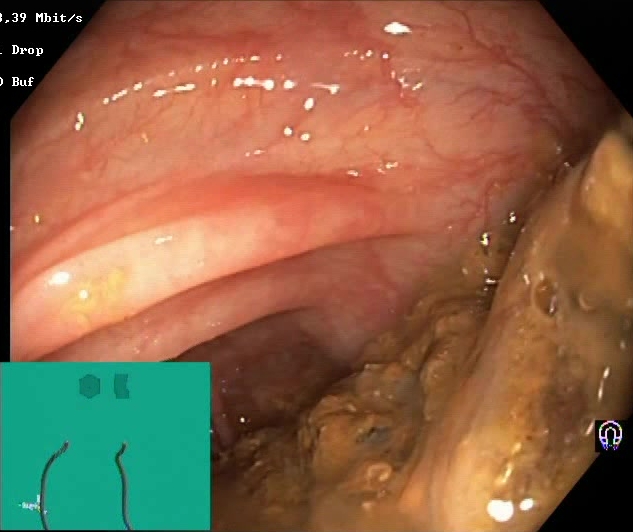{"modality": "lower-GI endoscopy", "tract": "lower GI tract", "category": "mucosal-view quality", "finding": "Boston Bowel Preparation Scale score 0\u20131 (inadequate preparation)"}